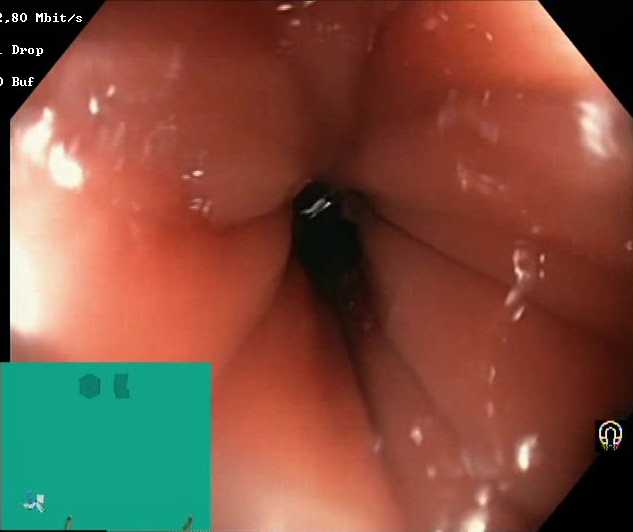Boston Bowel Preparation Scale score 2–3 (adequate preparation).